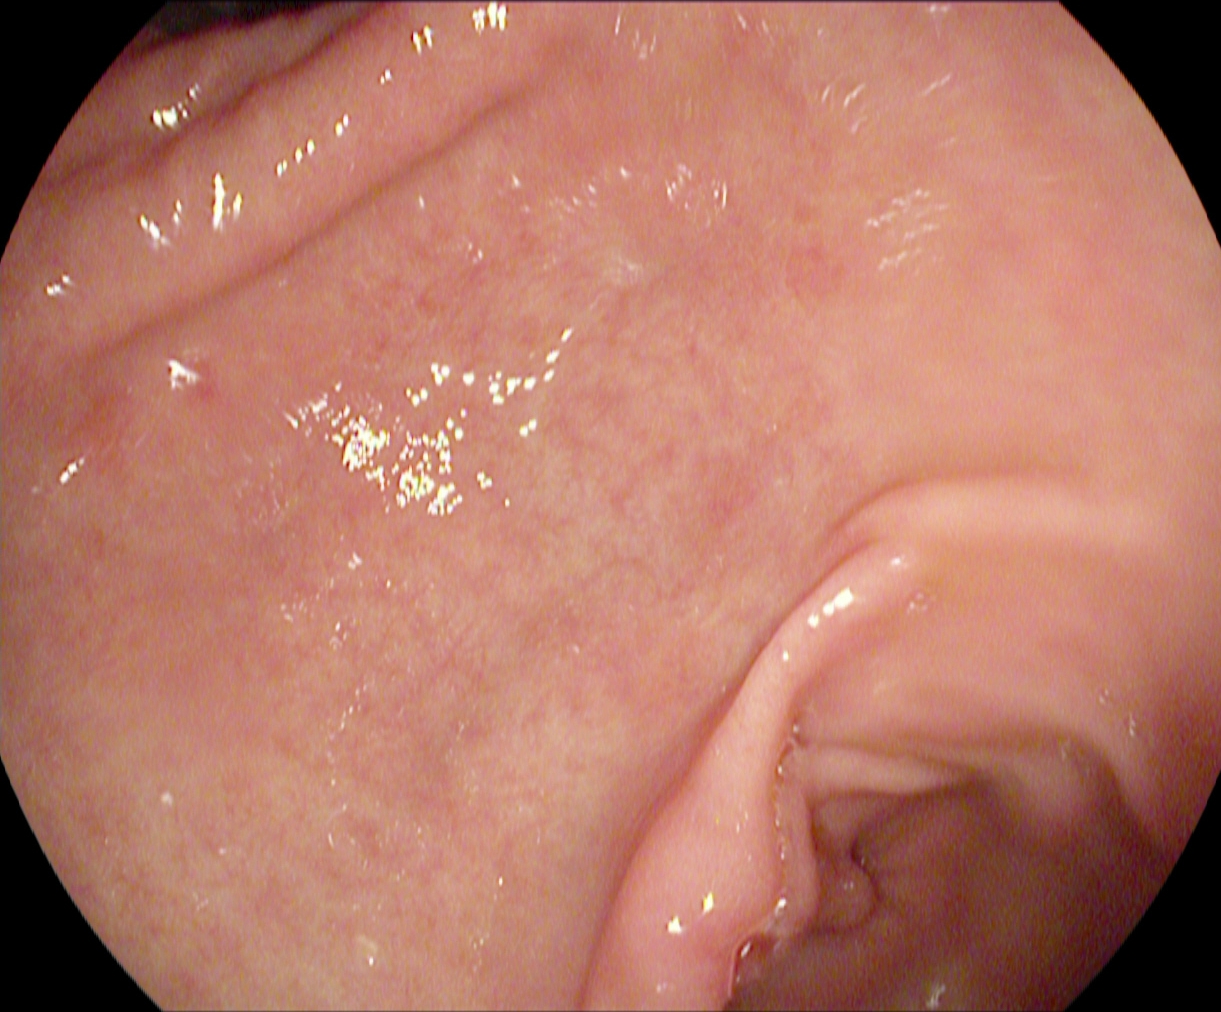modality: upper-GI endoscopy | tract: upper GI tract | category: anatomical landmark | finding: pylorus